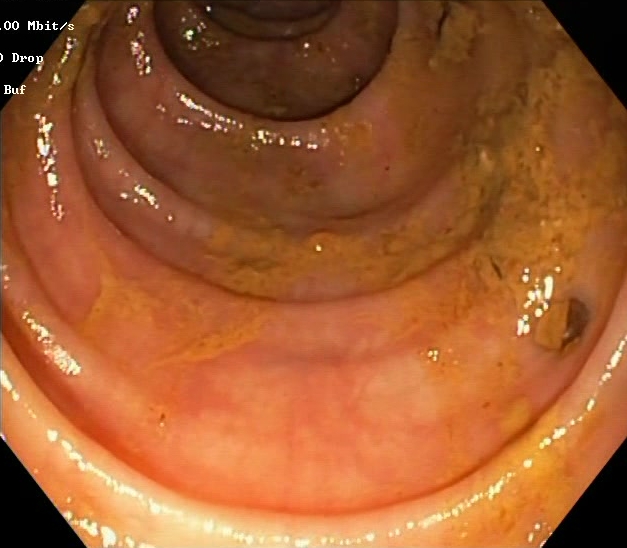Colonoscopy. Tract: lower GI tract. Finding: Boston Bowel Preparation Scale score 2–3 (adequate preparation).